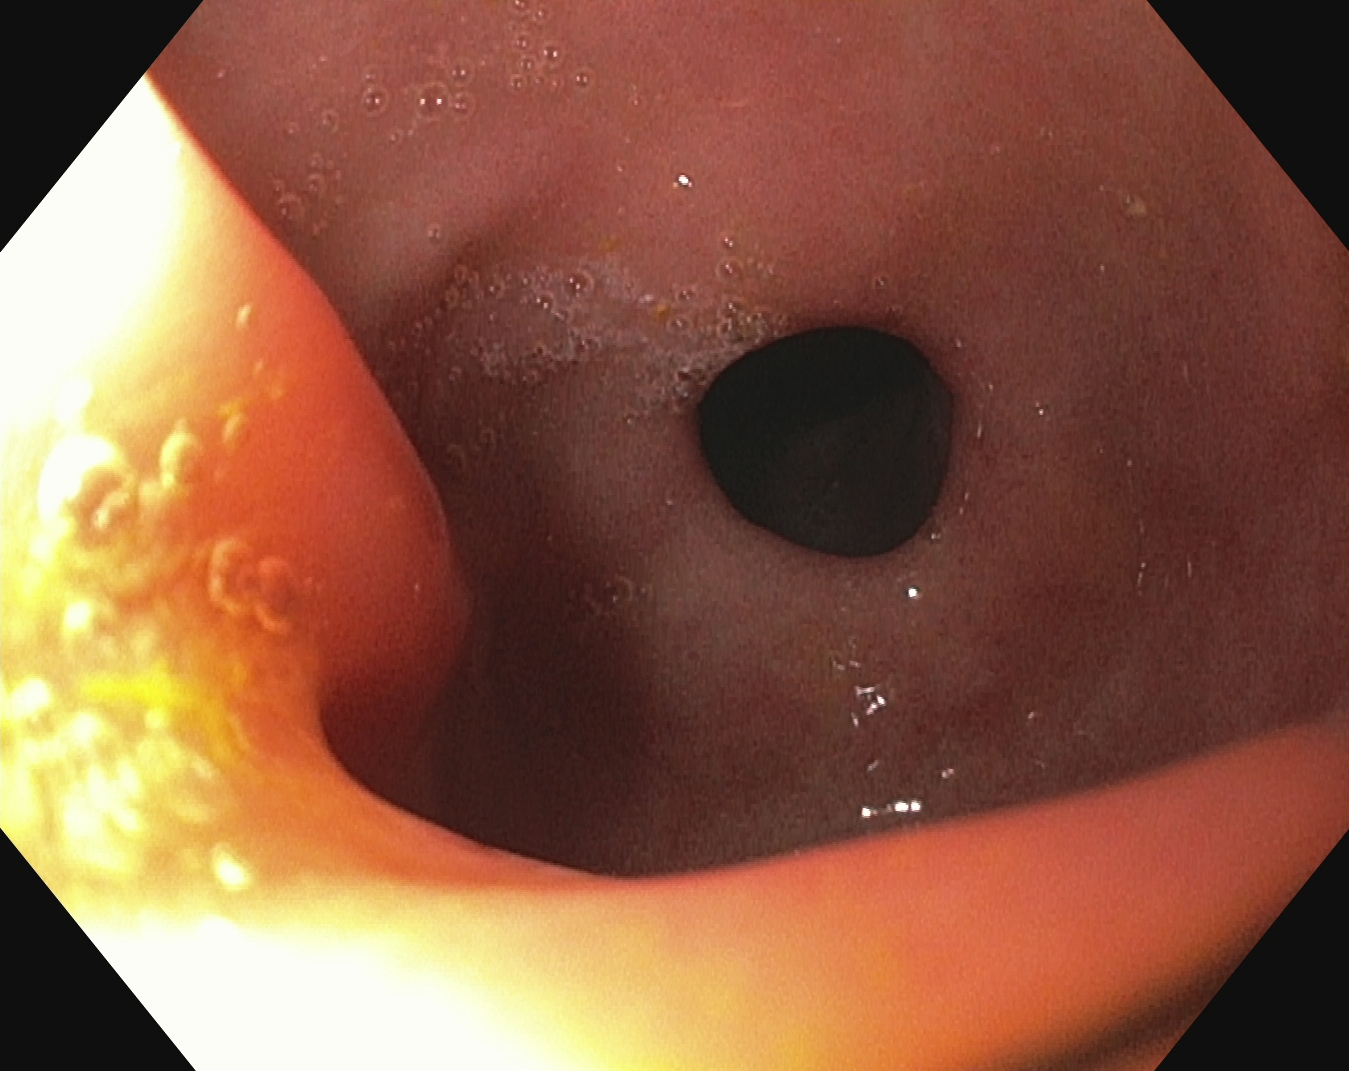Gastroscopy image showing pylorus.